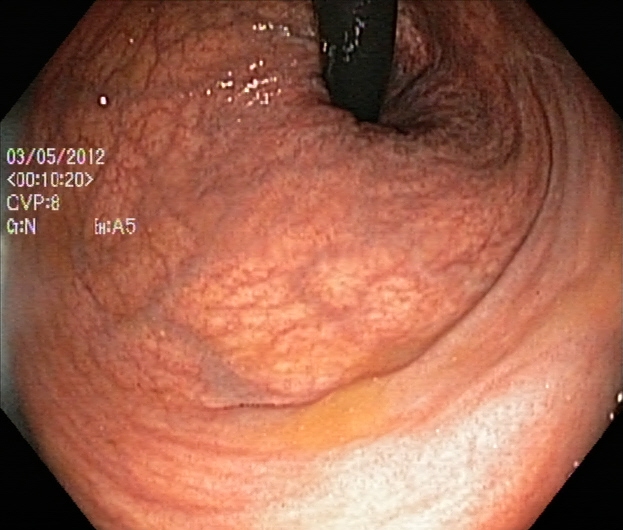This endoscopic image shows rectum in retroflexion.